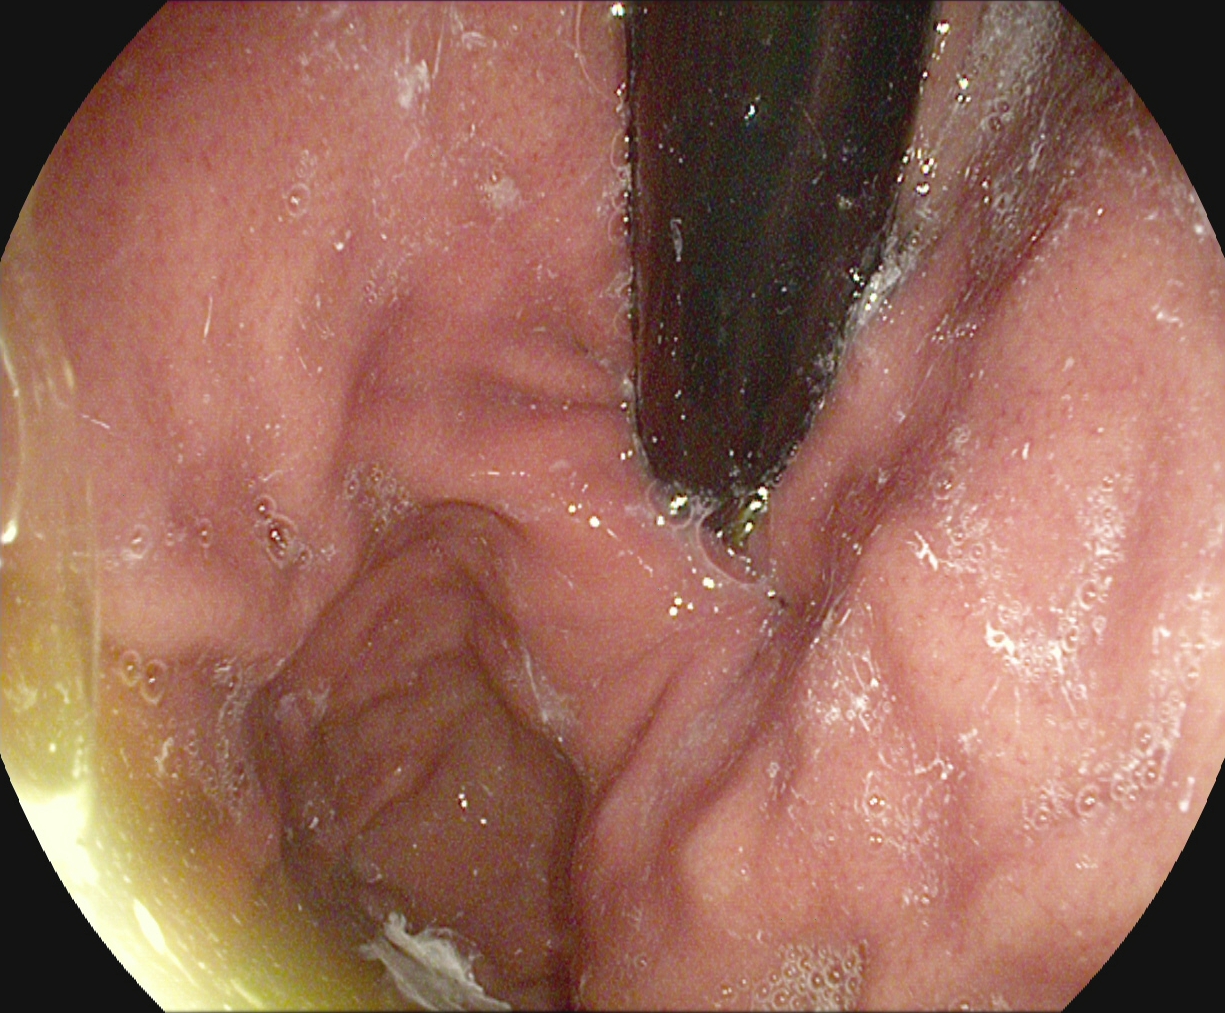EGD image showing stomach in retroflexion.